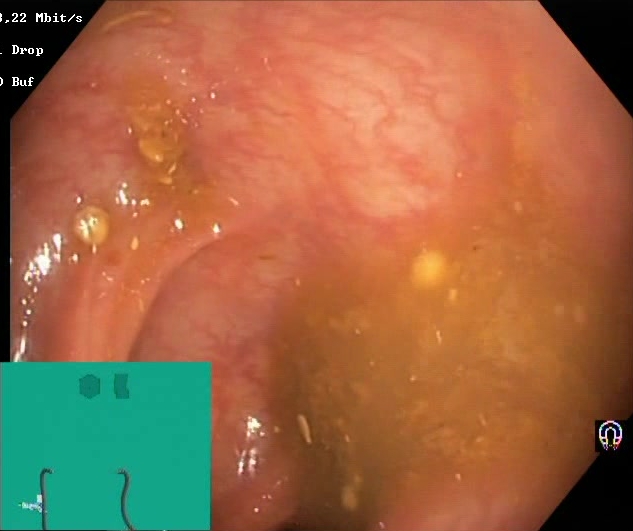Boston Bowel Preparation Scale score 0–1 (inadequate preparation).